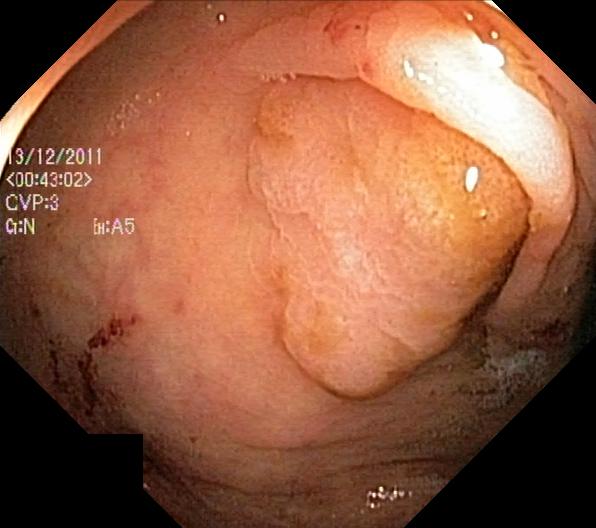Lower-GI endoscopy. Finding: colorectal polyp(s).